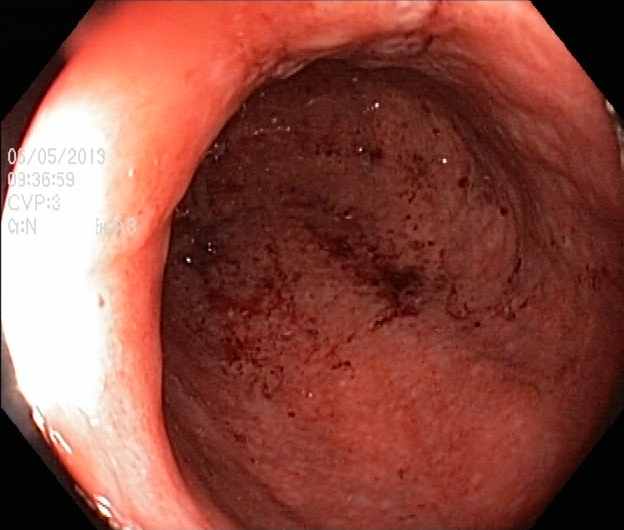Lower gastrointestinal endoscopy image of the lower GI tract showing ulcerative colitis, Mayo endoscopic subscore 2.